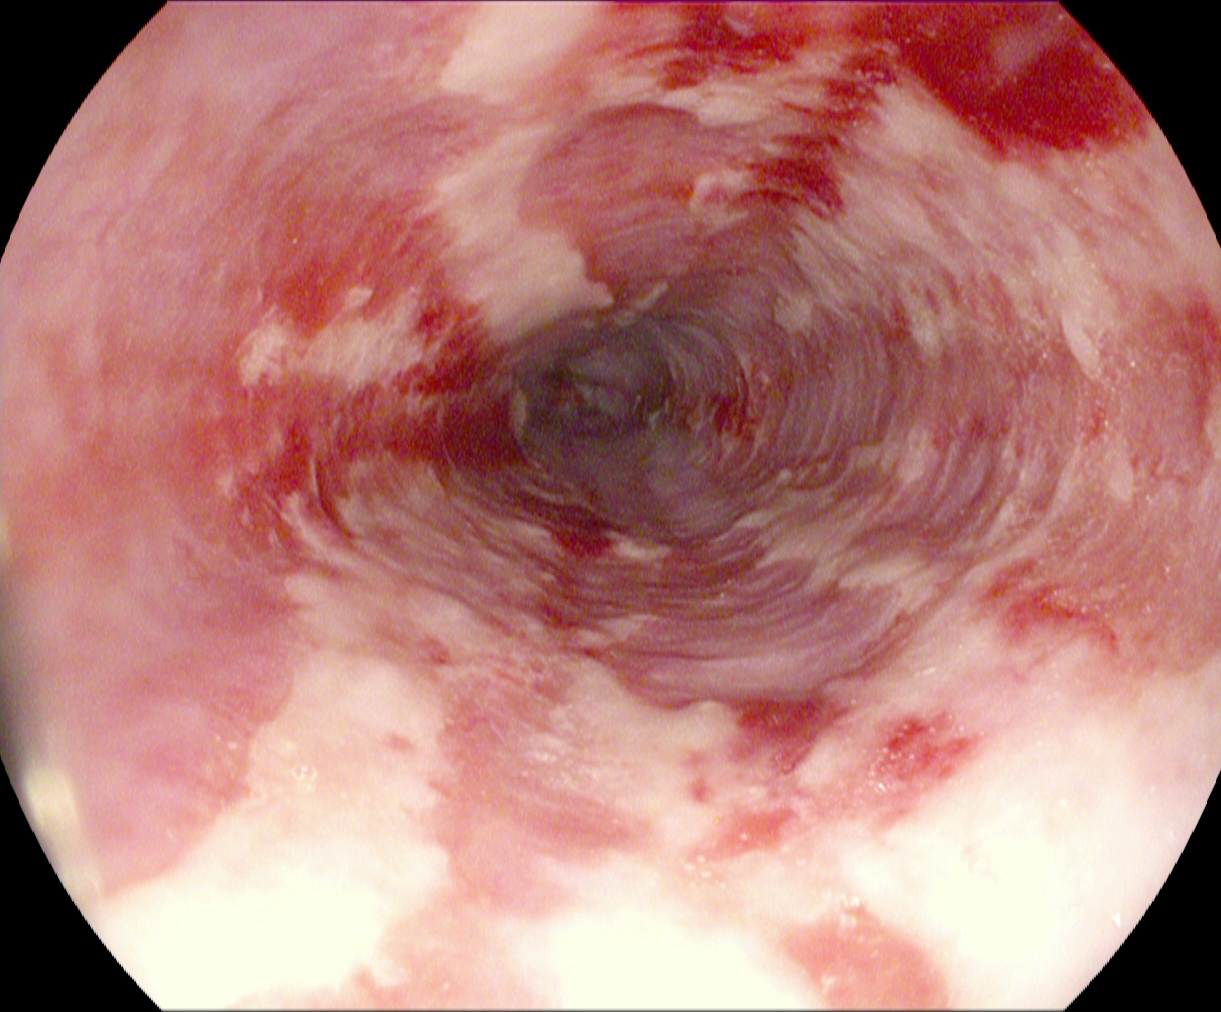Upper-GI endoscopy image of the upper GI tract showing reflux esophagitis, Los Angeles grade B–D.